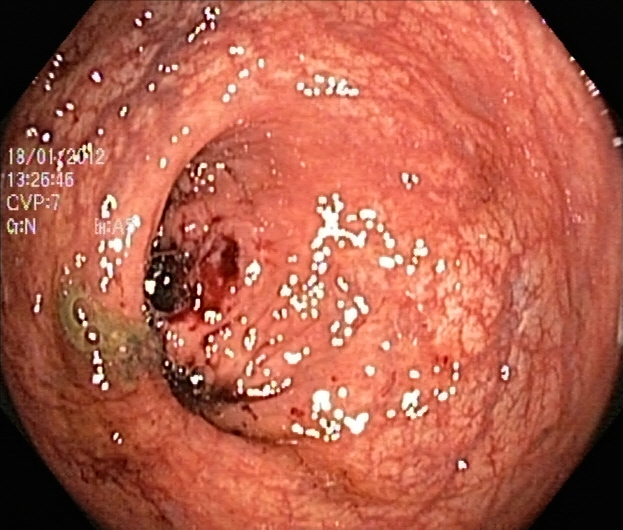modality: colonoscopy | tract: lower GI tract | finding: UC, Mayo endoscopic subscore 1